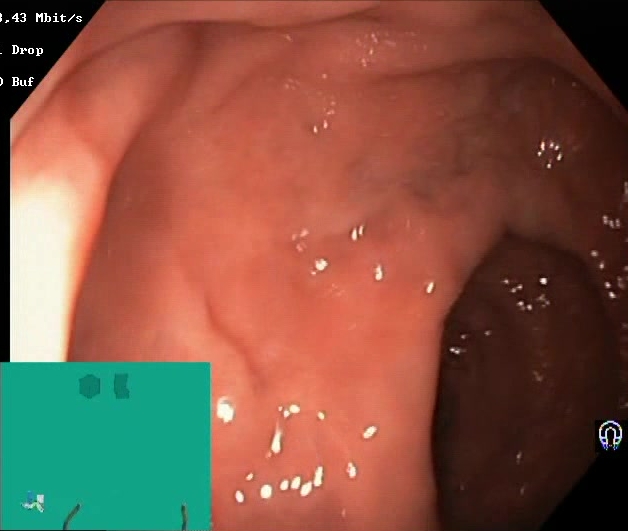Endoscopy image of the lower GI tract showing Boston Bowel Preparation Scale score 2–3 (adequate preparation).